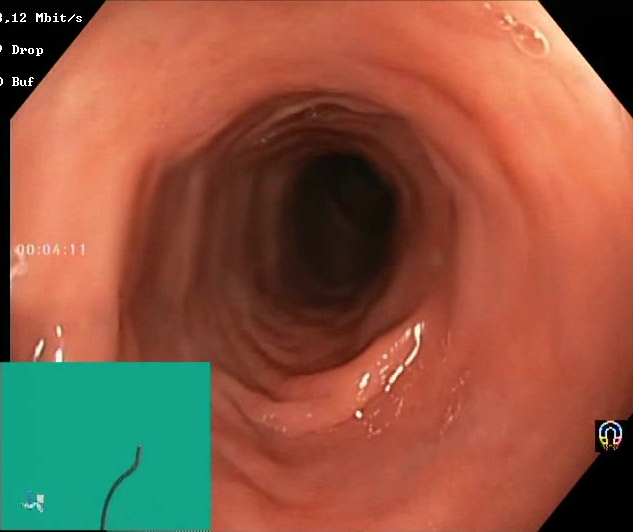Lower gastrointestinal endoscopy. Tract: lower GI tract. Finding: BBPS score 2–3 (adequate preparation).